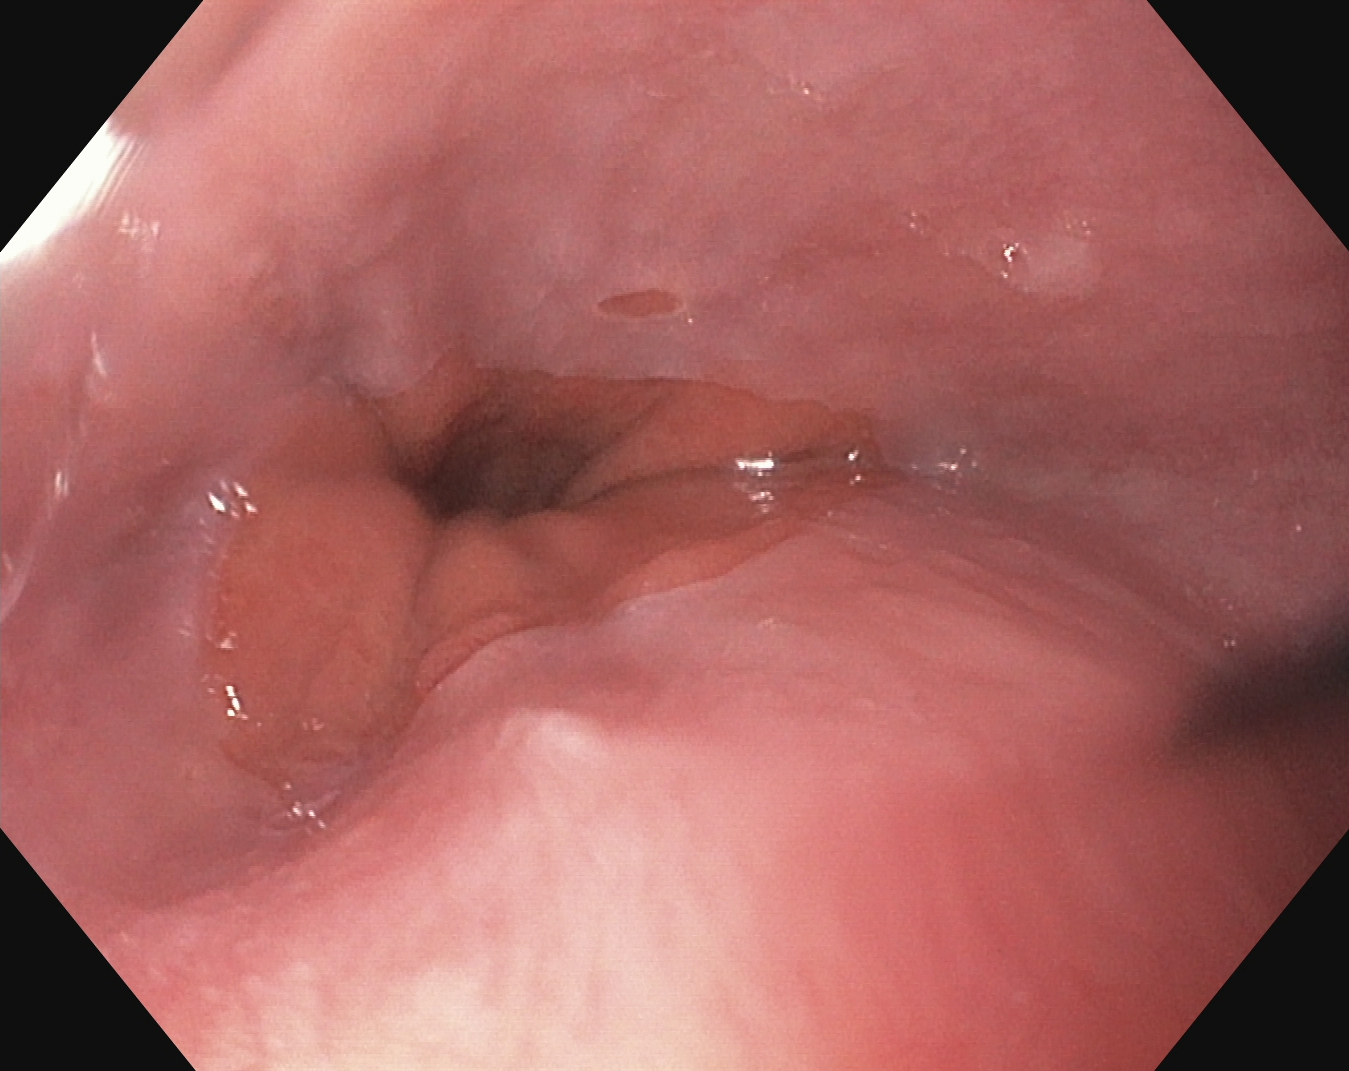PROCEDURE: Esophagogastroduodenoscopy.
FINDINGS: Z-line (gastroesophageal junction).